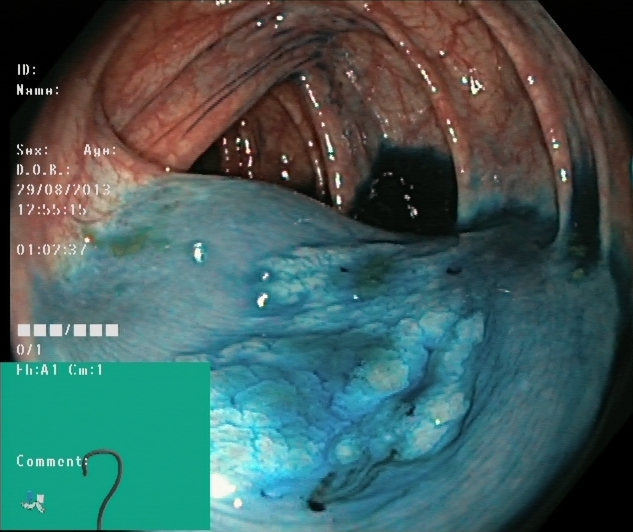PROCEDURE: Colonoscopy.
CATEGORY: Therapeutic intervention.
FINDINGS: Dyed and lifted polyp (pre-resection).